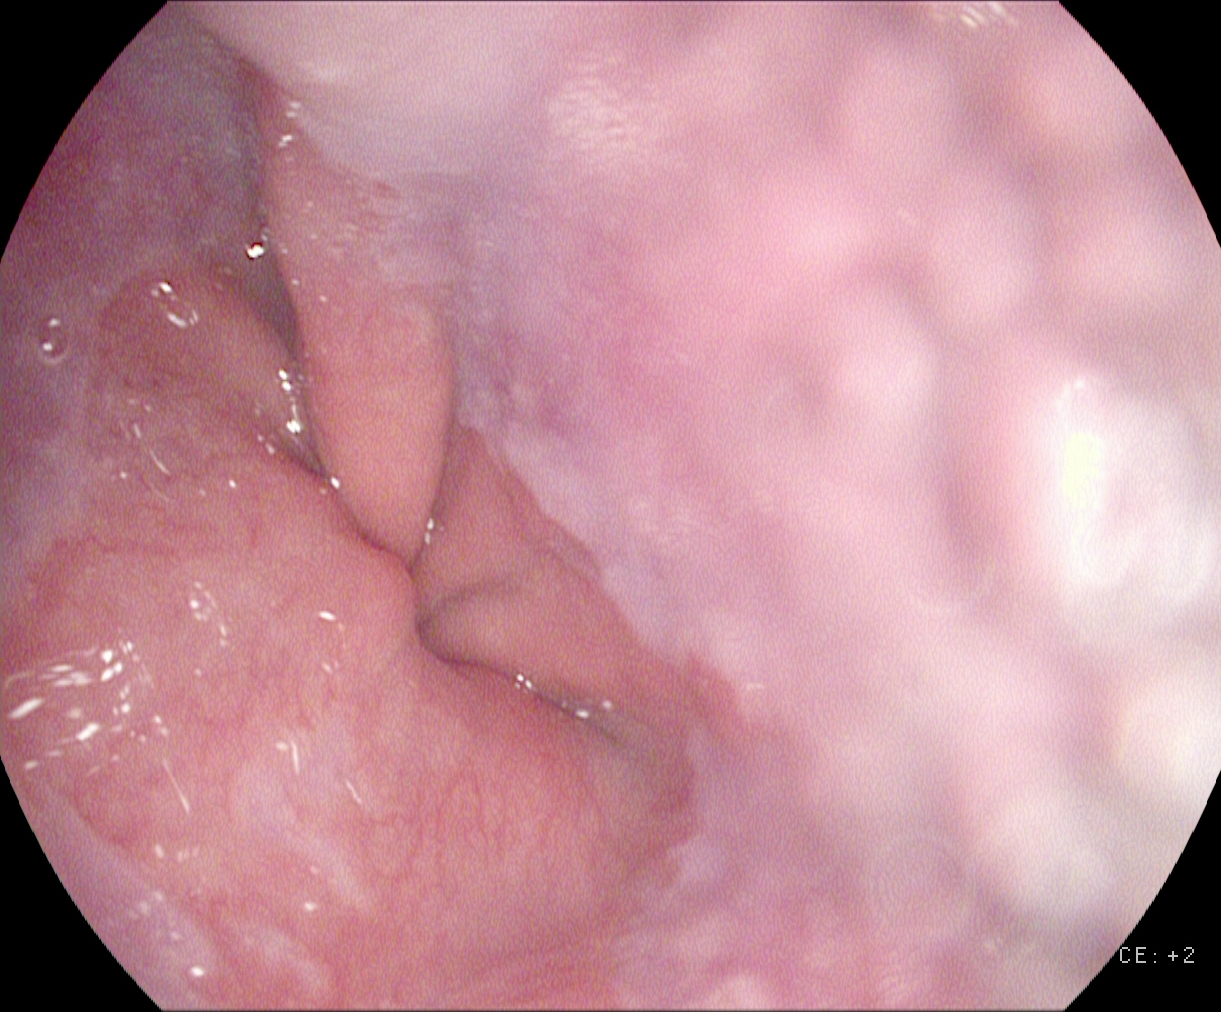Z-line (gastroesophageal junction).